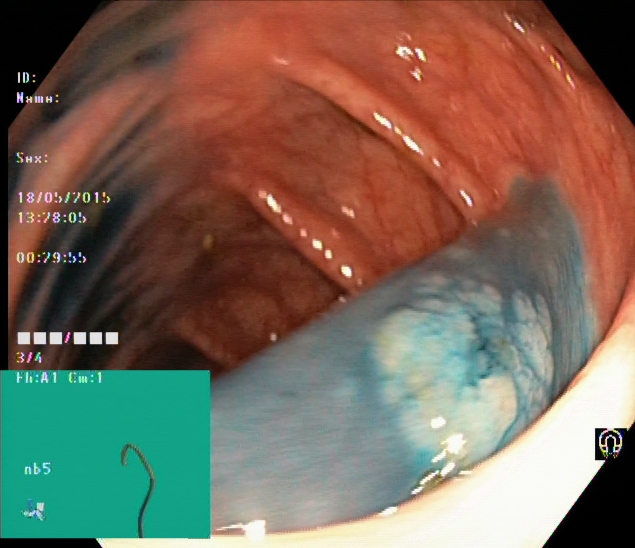Gastrointestinal endoscopy image of the lower GI tract showing dyed and lifted polyp (pre-resection).